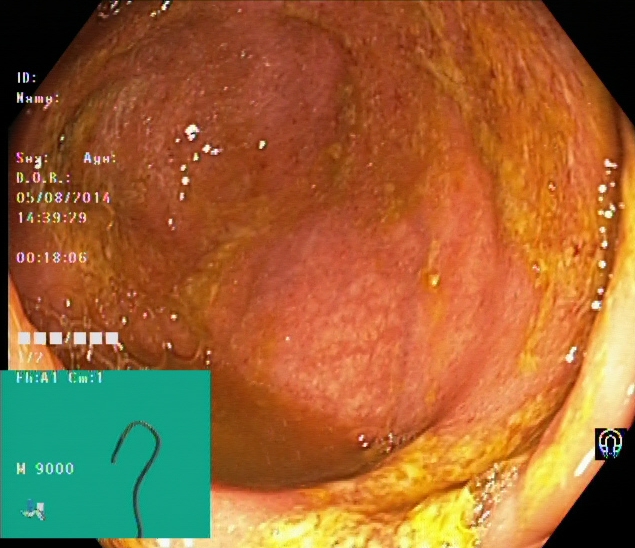Endoscopic image of the lower GI tract showing cecum.